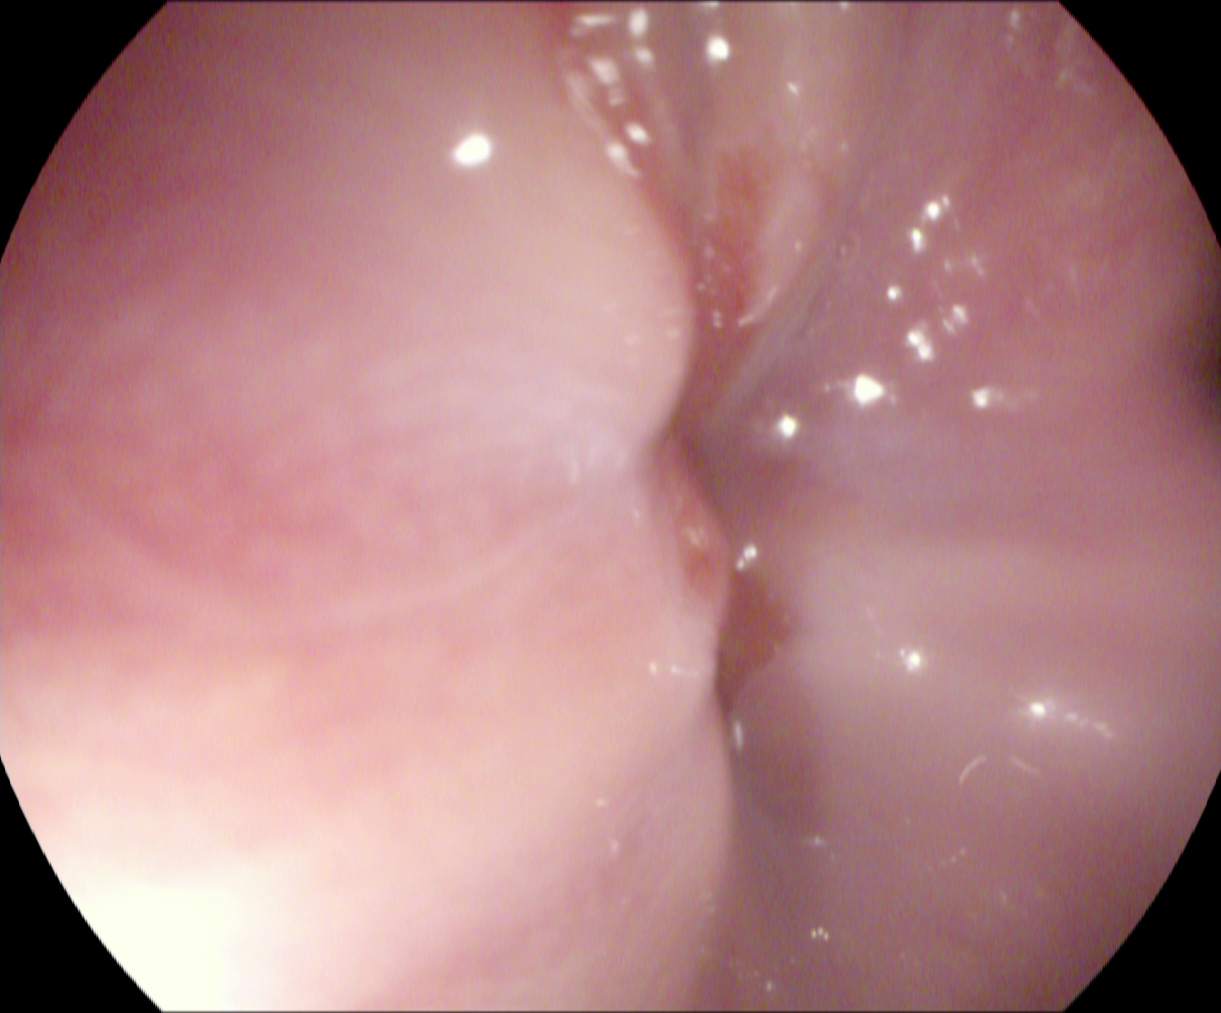Z-line (gastroesophageal junction).